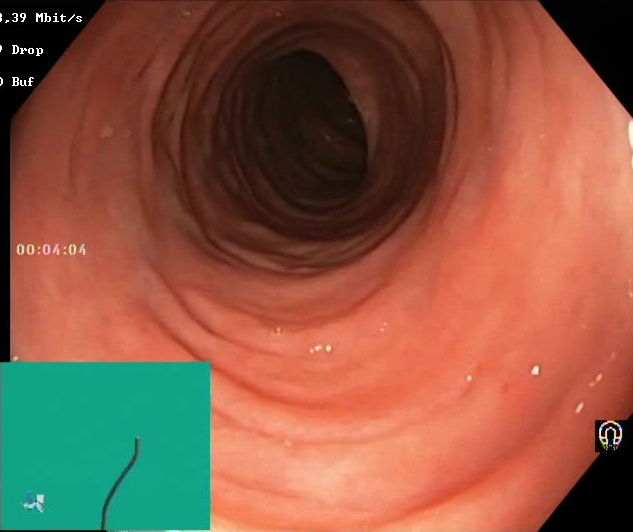Lower gastrointestinal endoscopy — Boston Bowel Preparation Scale score 2–3 (adequate preparation).